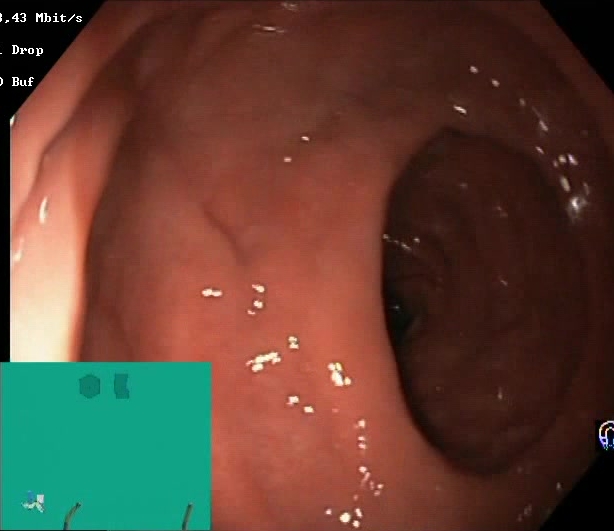This endoscopic image shows BBPS score 2–3 (adequate preparation).